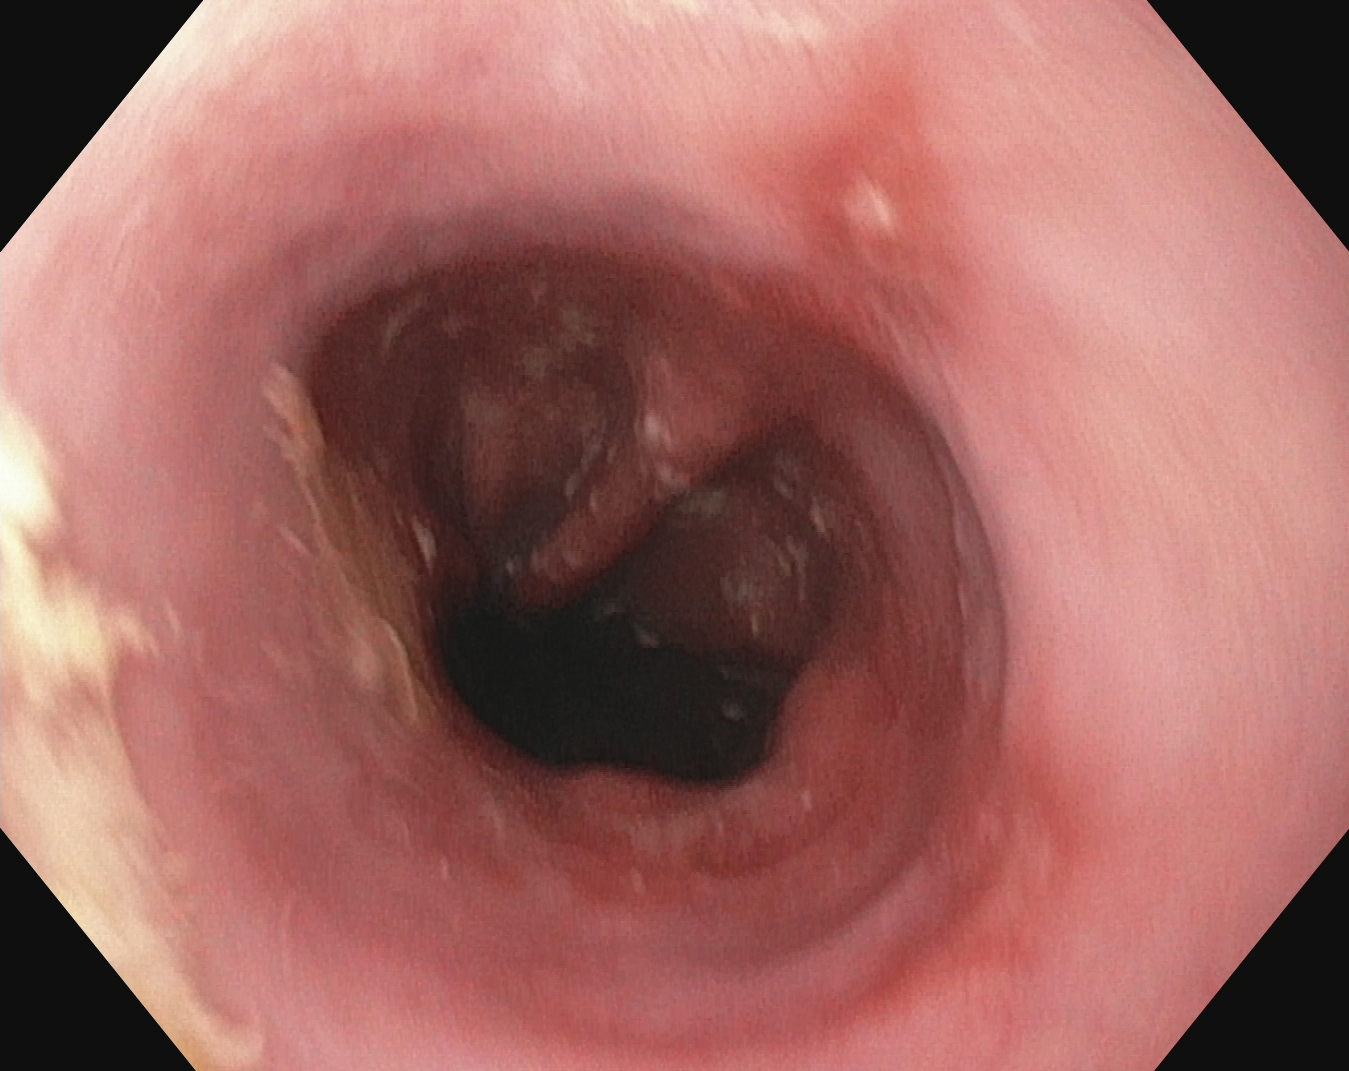This endoscopic image of the upper GI tract shows reflux esophagitis, LA grade B–D.